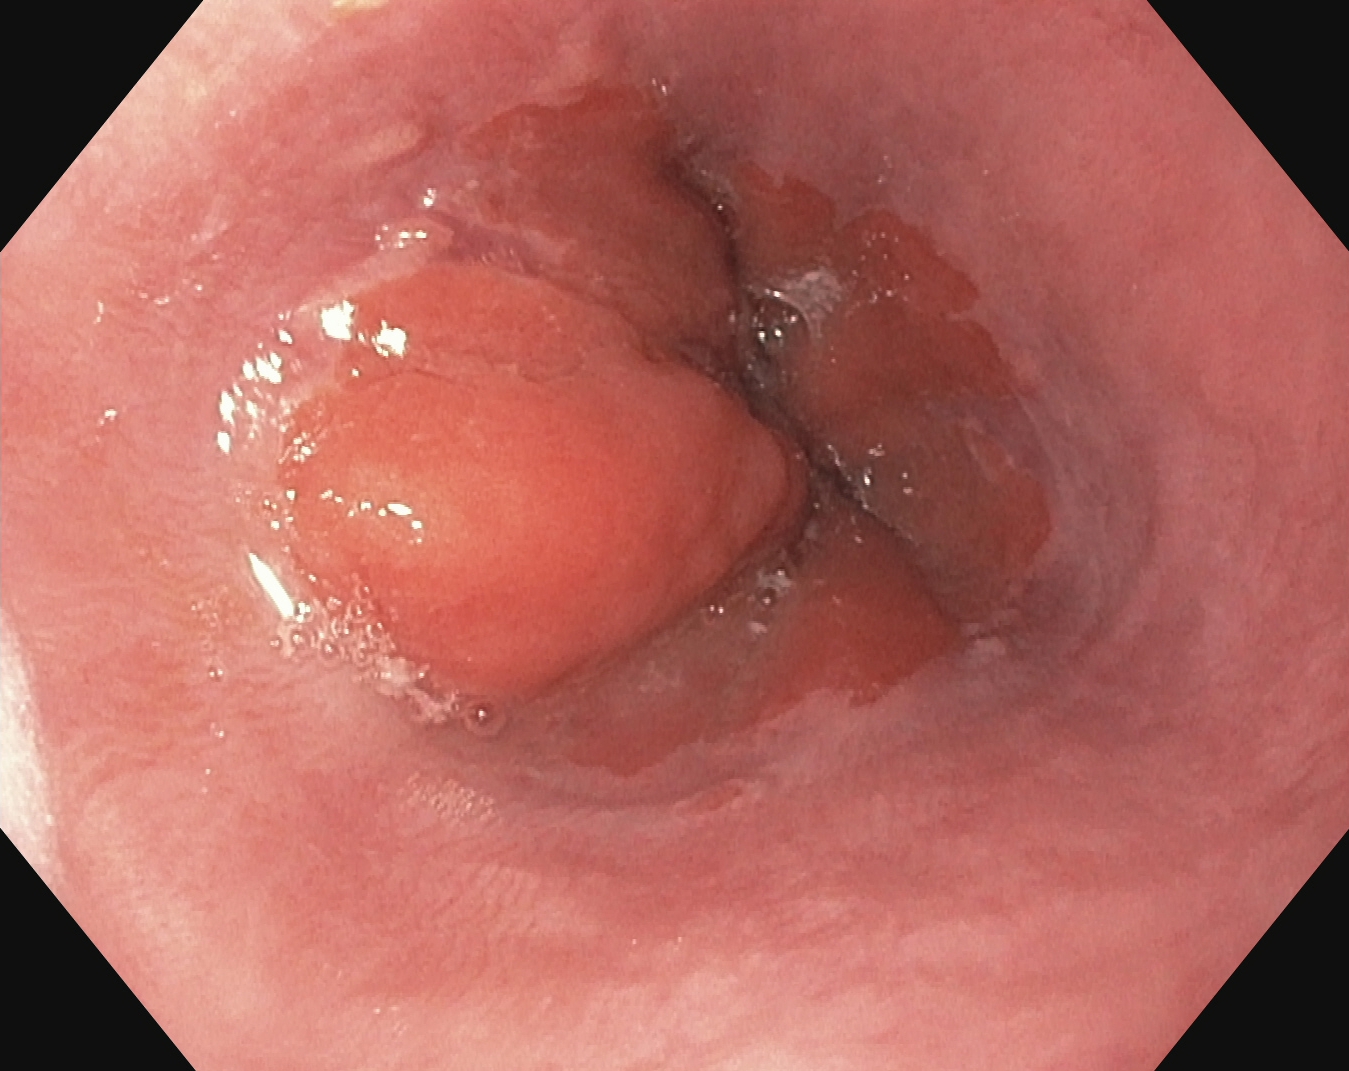Gastroscopy — Z-line (gastroesophageal junction).